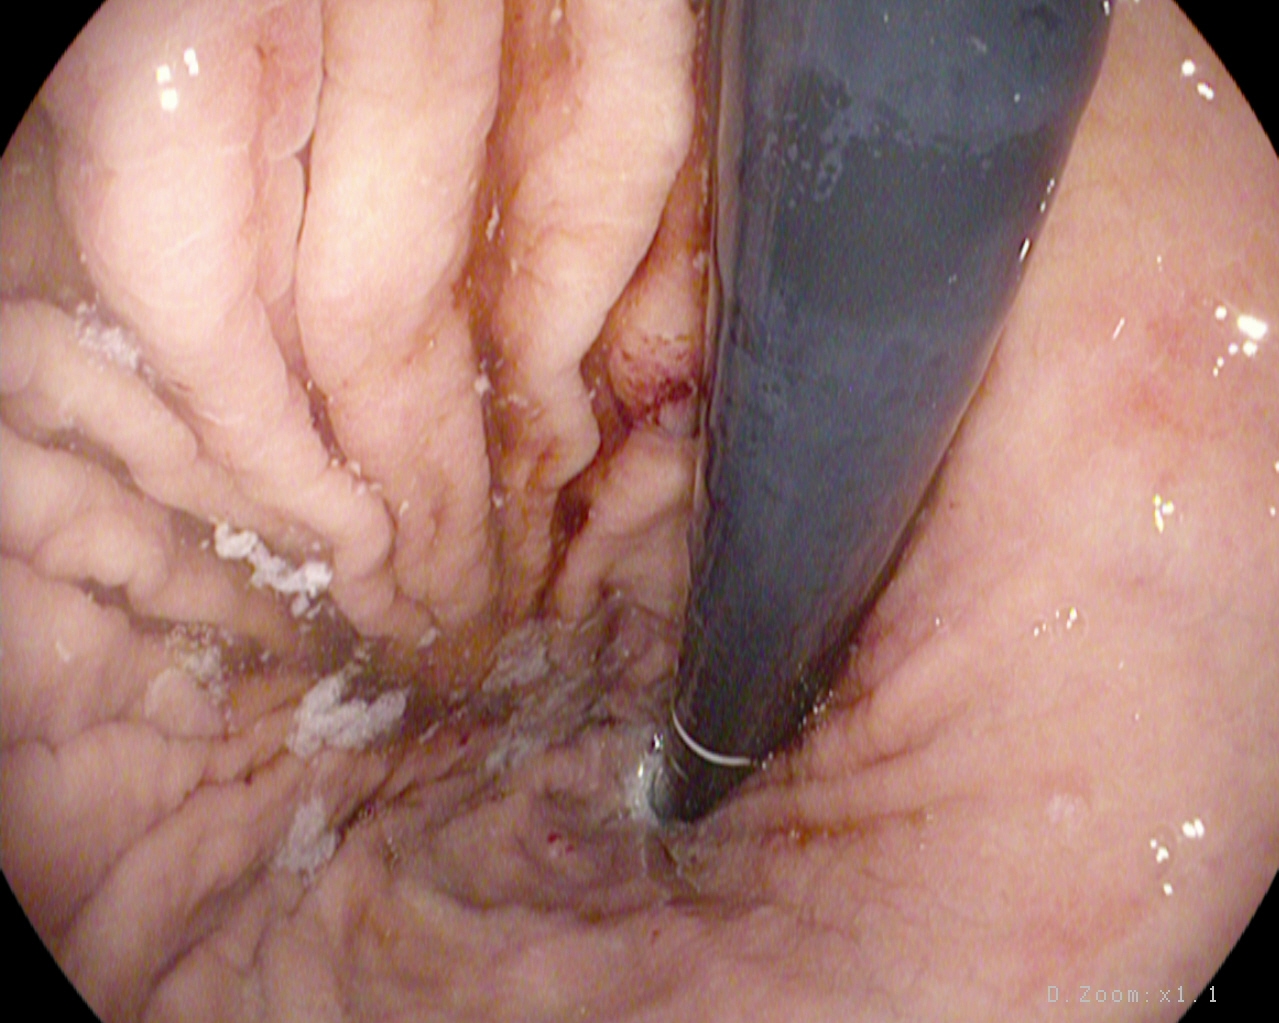modality: esophagogastroduodenoscopy
tract: upper GI tract
finding: stomach in retroflexion